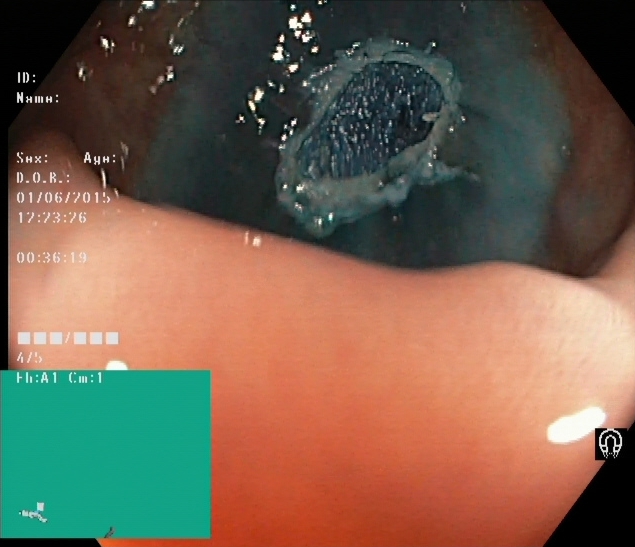PROCEDURE: Lower-GI endoscopy.
FINDINGS: Dyed resection margins (post-polypectomy).